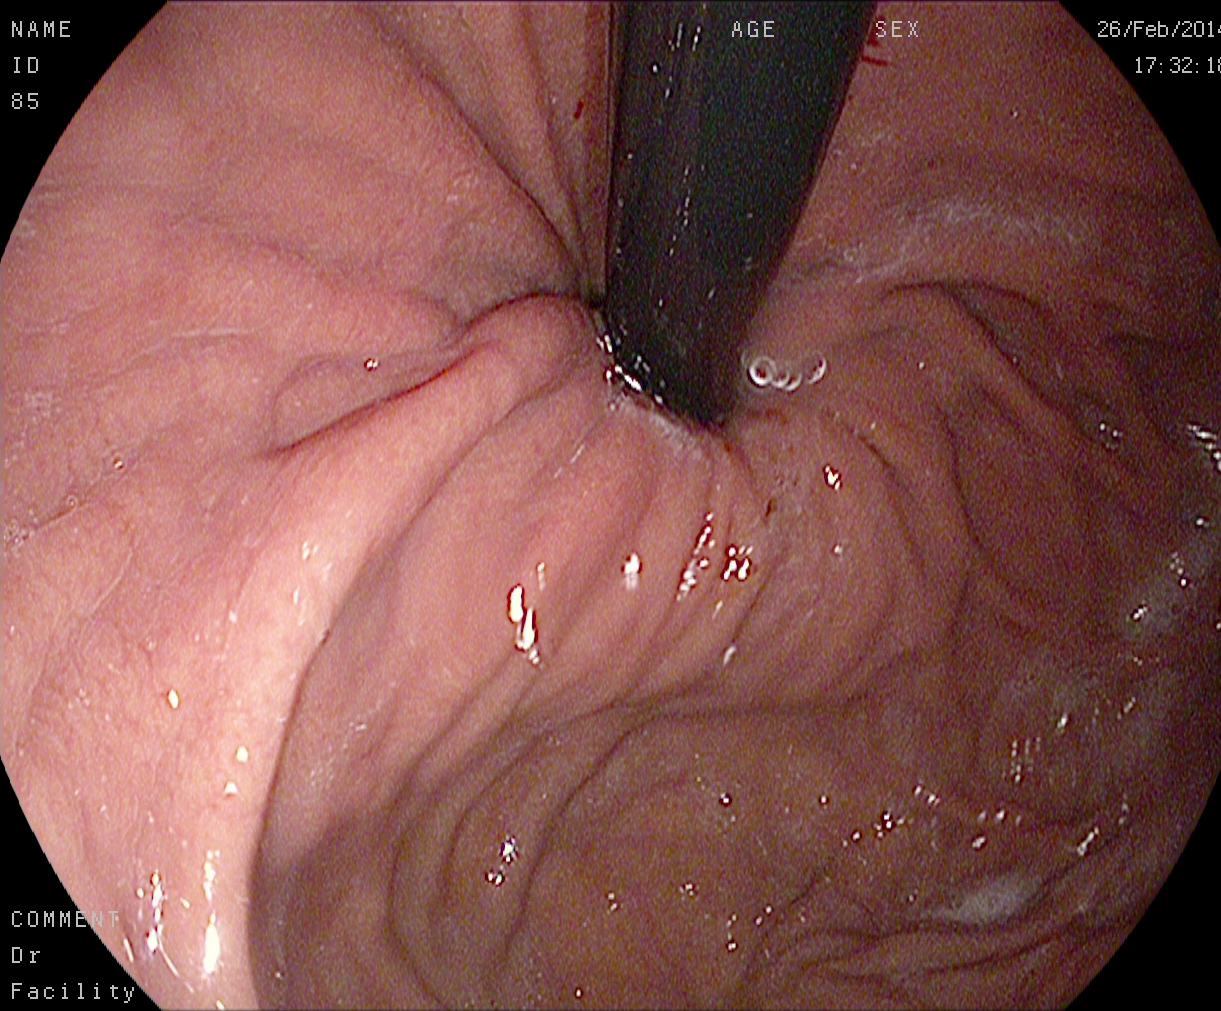{"modality": "gastroscopy", "tract": "upper GI tract", "finding": "stomach in retroflexion"}